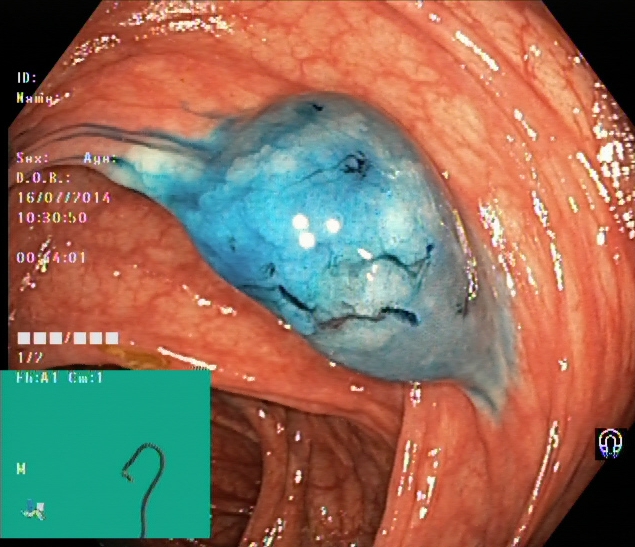{"modality": "lower-GI endoscopy", "category": "therapeutic intervention", "finding": "dyed and lifted polyp (pre-resection)"}